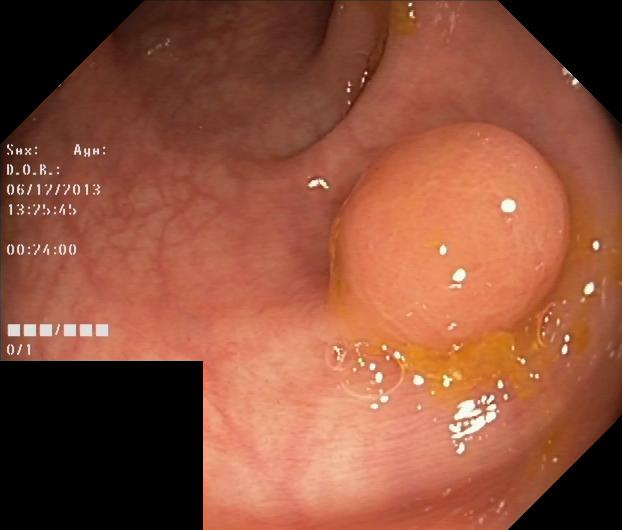{"modality": "lower-GI endoscopy", "tract": "lower GI tract", "category": "pathological finding", "finding": "colorectal polyp(s)"}